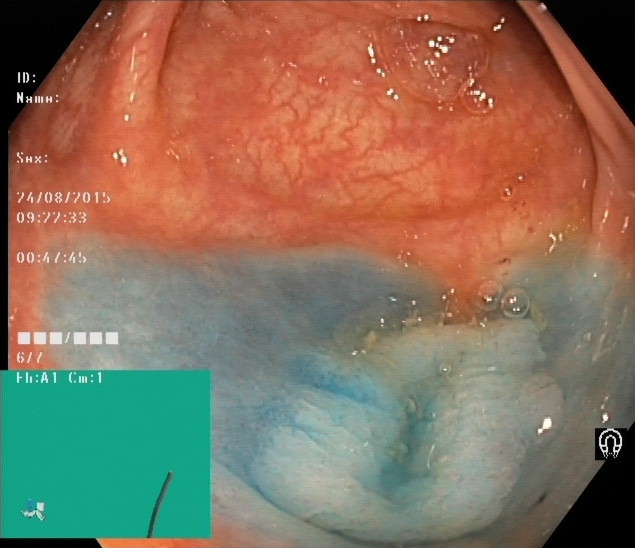This endoscopy frame of the lower GI tract shows dyed and lifted polyp (pre-resection).